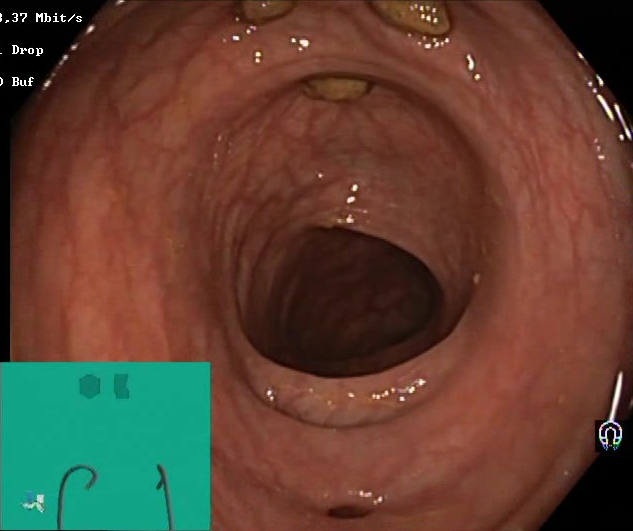modality: lower gastrointestinal endoscopy
tract: lower GI tract
finding: impacted stool